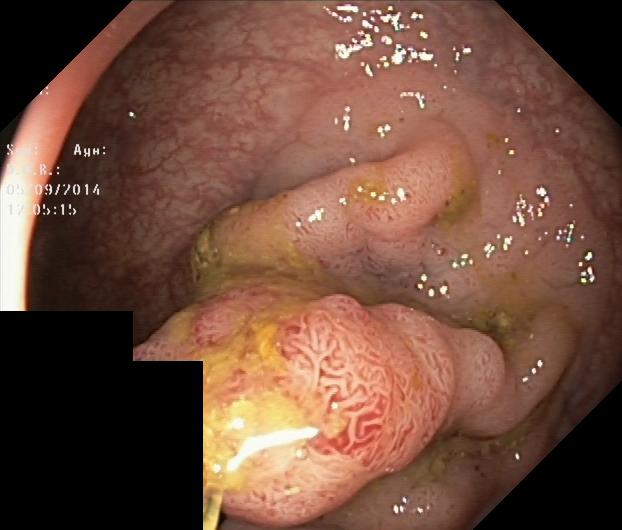Colonoscopy — colorectal polyp(s).